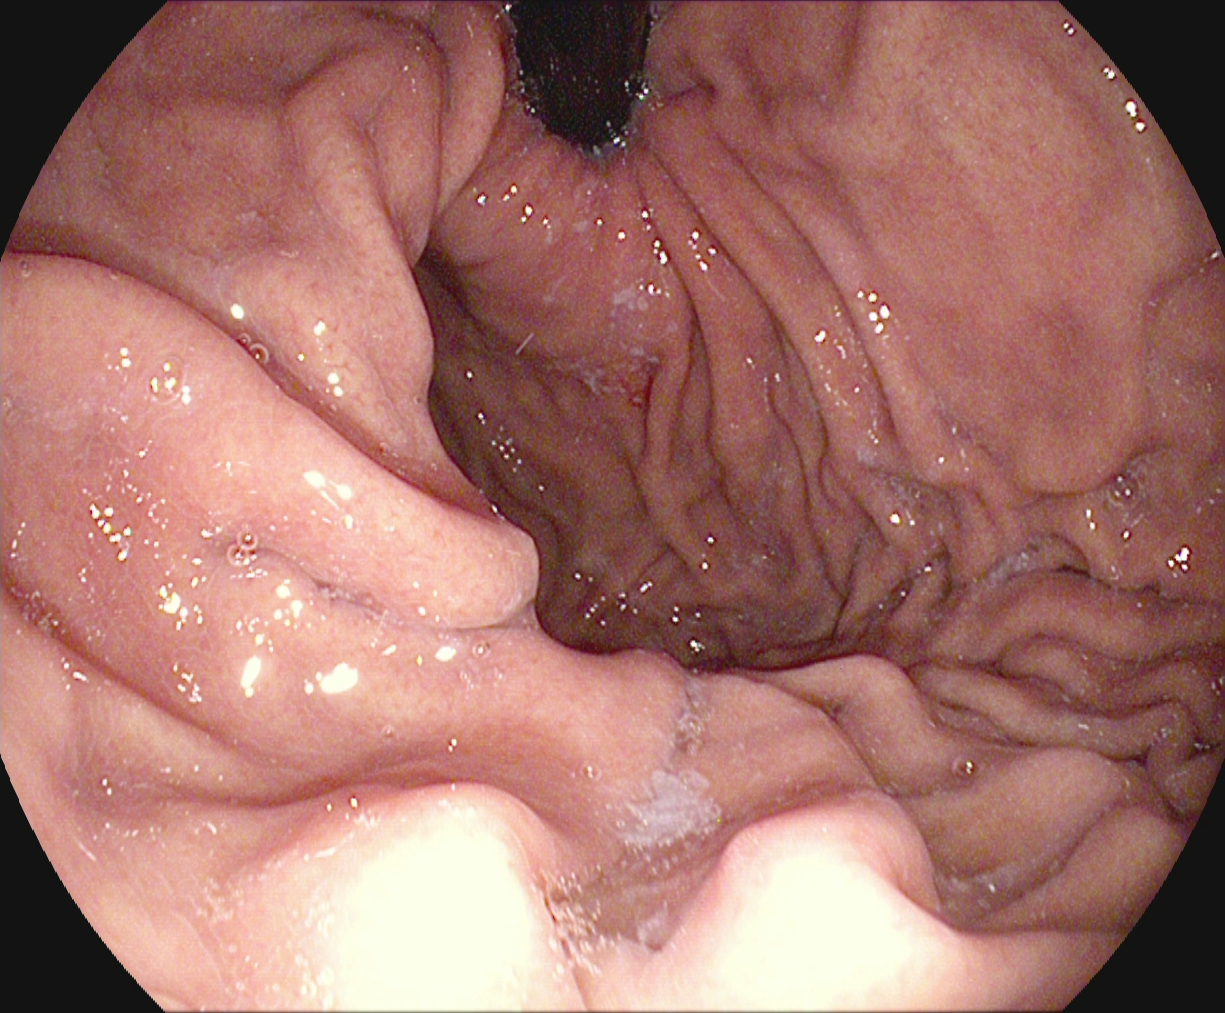stomach in retroflexion.